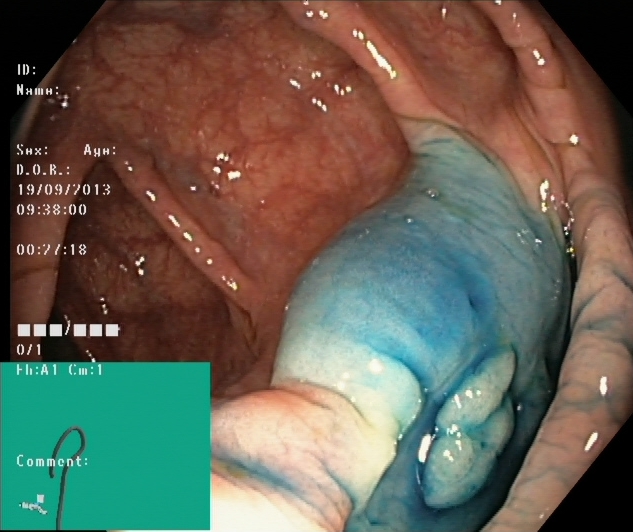PROCEDURE: Colonoscopy.
FINDINGS: Dyed and lifted polyp (pre-resection).